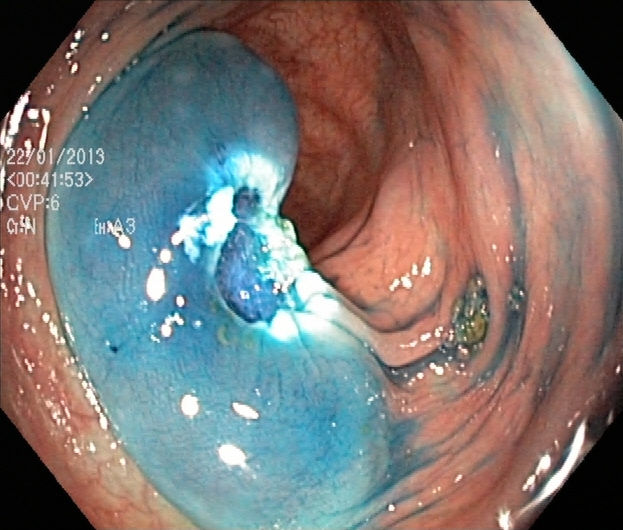Endoscopy image showing dyed resection margins (post-polypectomy).